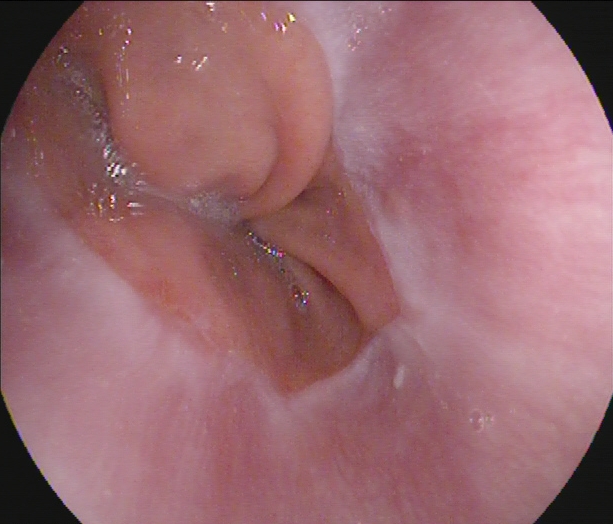This endoscopic image of the upper GI tract shows Z-line (gastroesophageal junction).